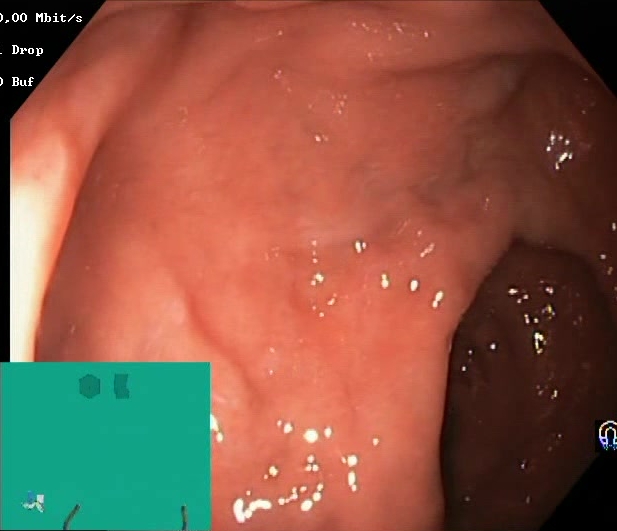{"modality": "lower-GI endoscopy", "tract": "lower GI tract", "category": "mucosal-view quality", "finding": "BBPS score 2\u20133 (adequate preparation)"}